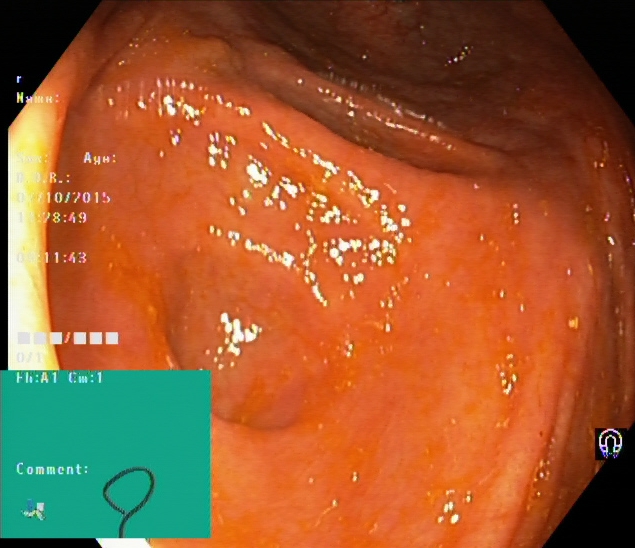cecum.